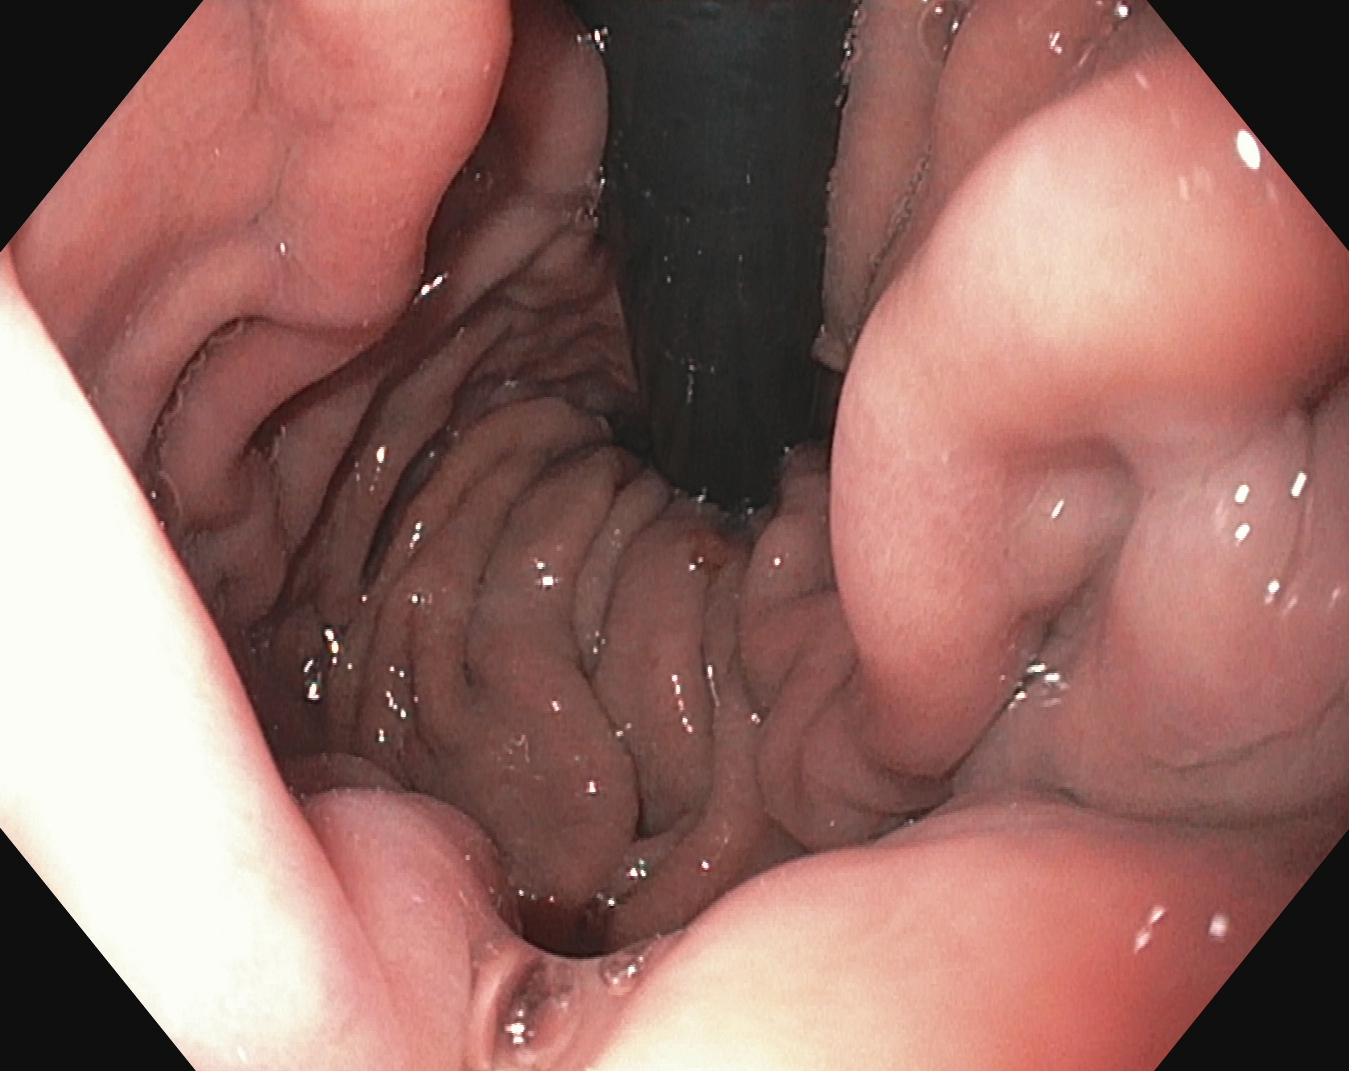modality: upper-GI endoscopy
tract: upper GI tract
finding: stomach in retroflexion